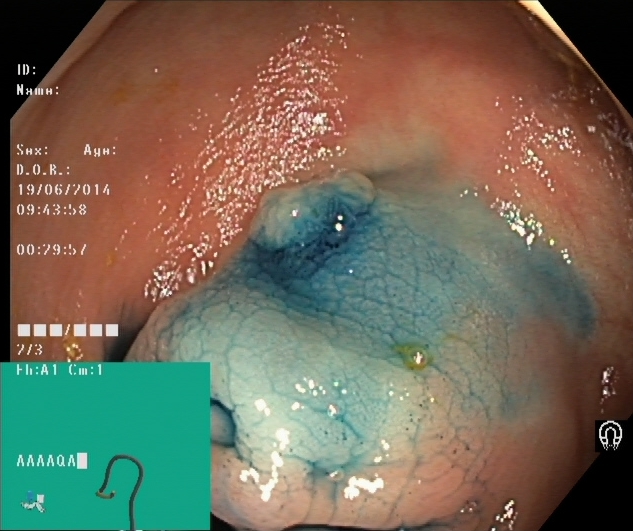This endoscopic image shows dyed and lifted polyp (pre-resection).